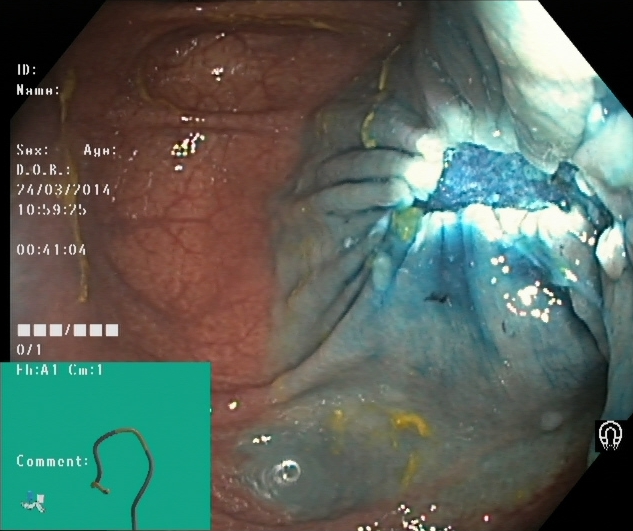{"modality": "colonoscopy", "tract": "lower GI tract", "finding": "dyed resection margins (post-polypectomy)"}